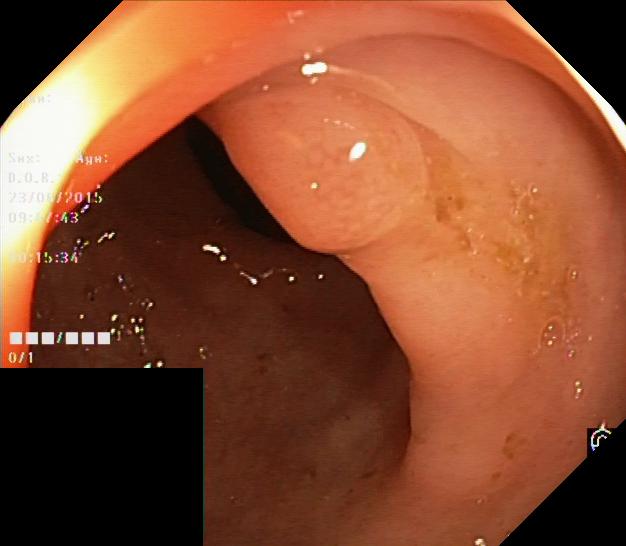modality: lower-GI endoscopy
finding: colorectal polyp(s)